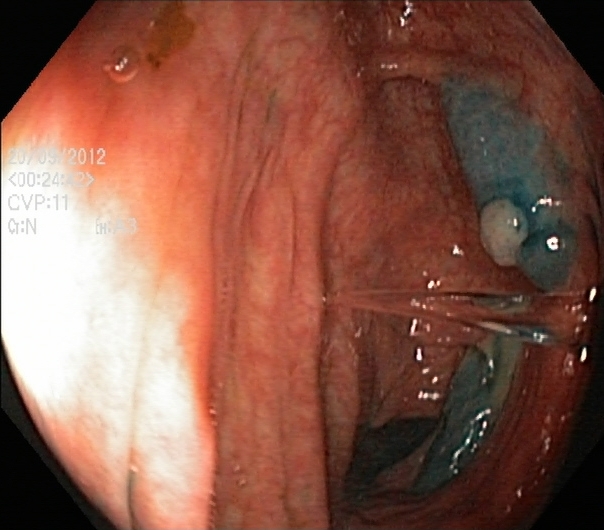Colonoscopy — dyed and lifted polyp (pre-resection).